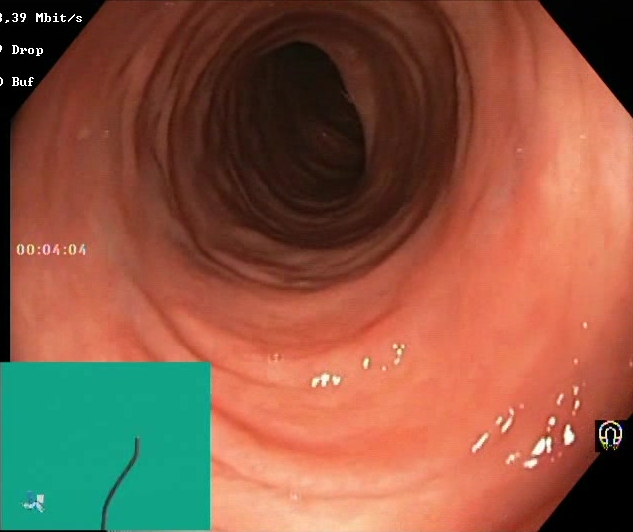Lower gastrointestinal endoscopy — Boston Bowel Preparation Scale score 2–3 (adequate preparation).